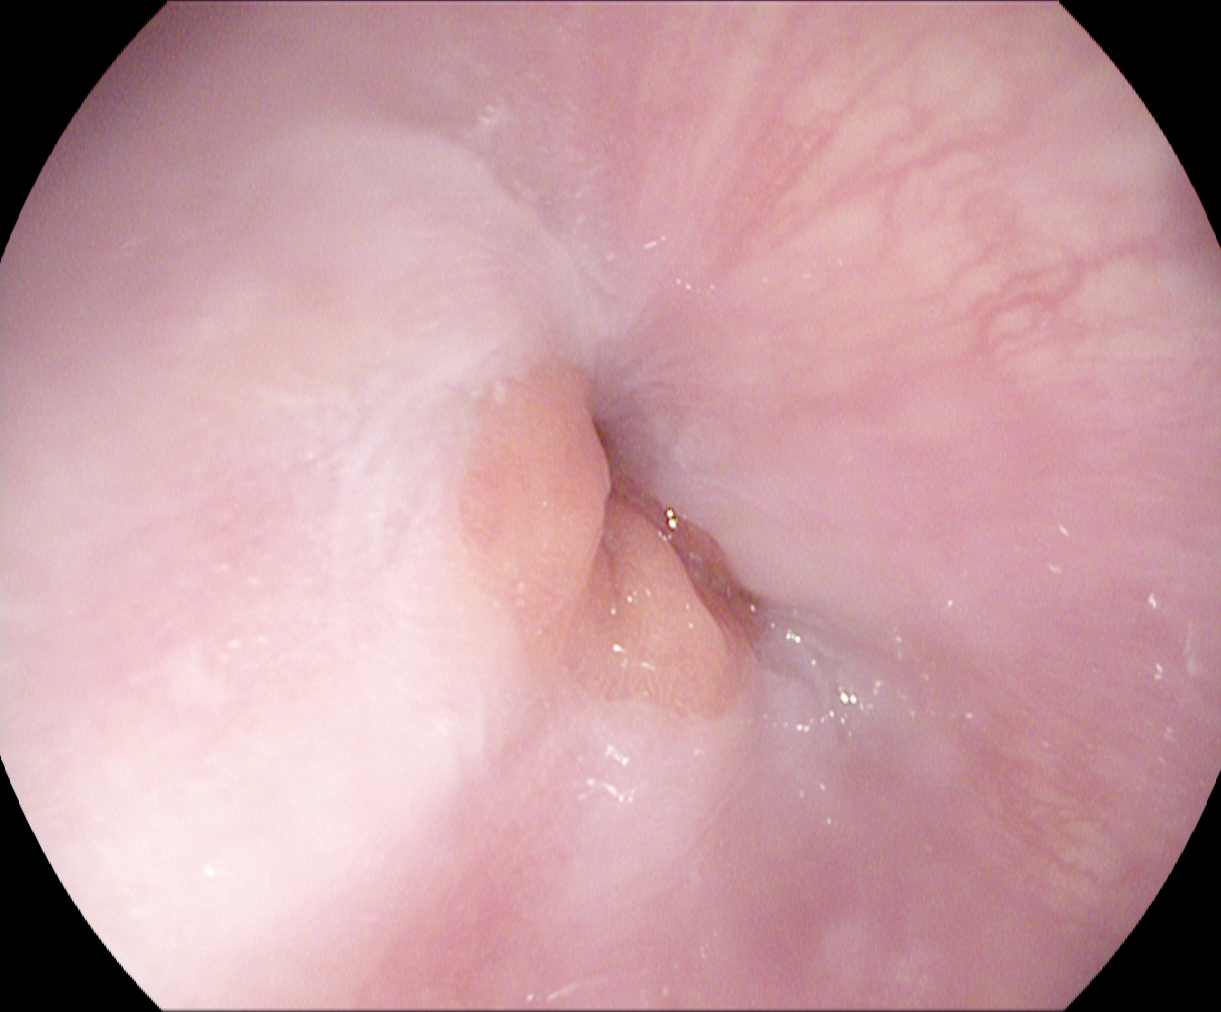Upper-GI endoscopy image showing Z-line (gastroesophageal junction).